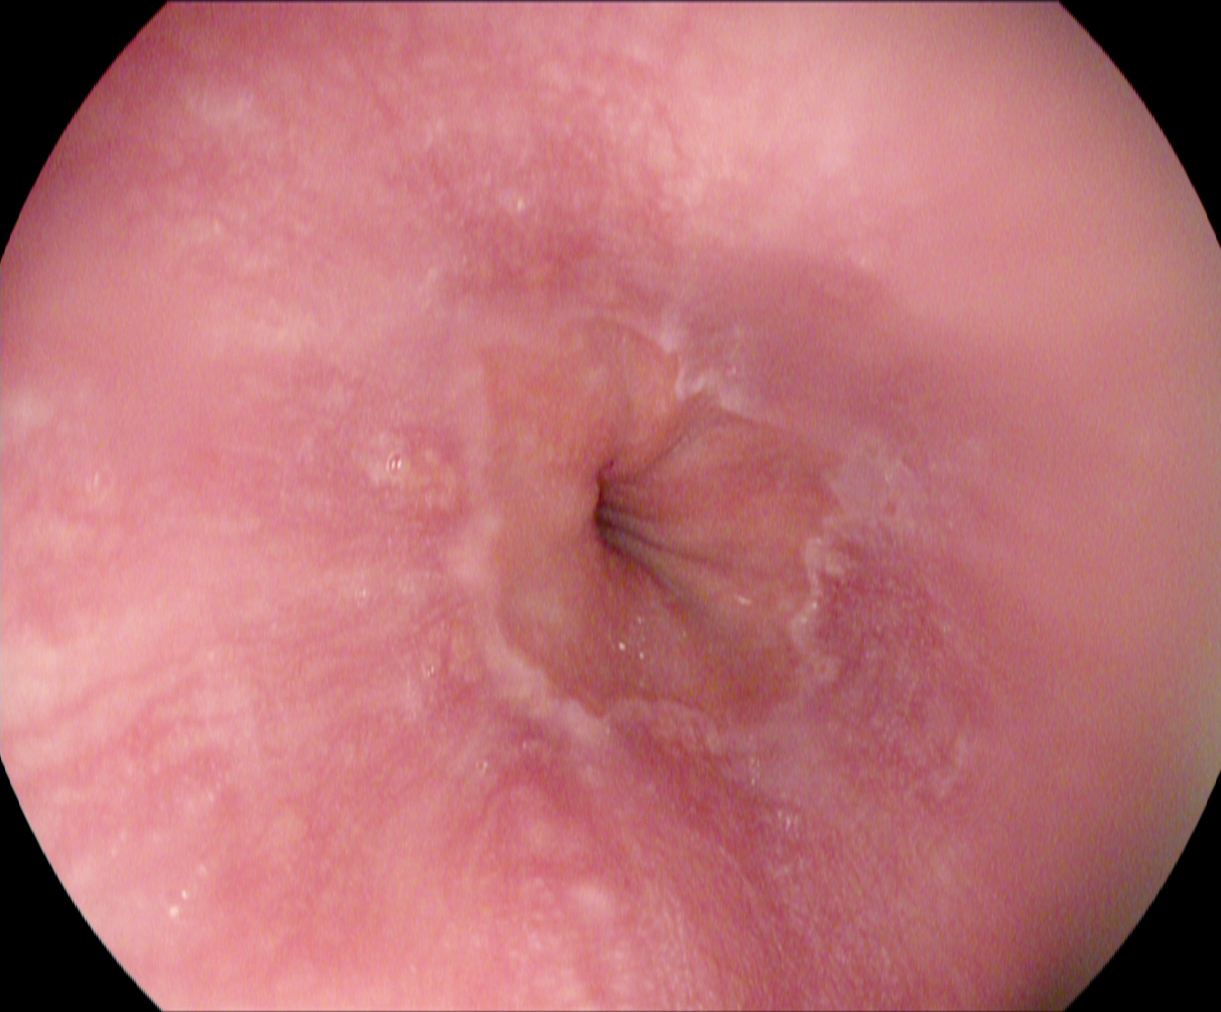Z-line (gastroesophageal junction).